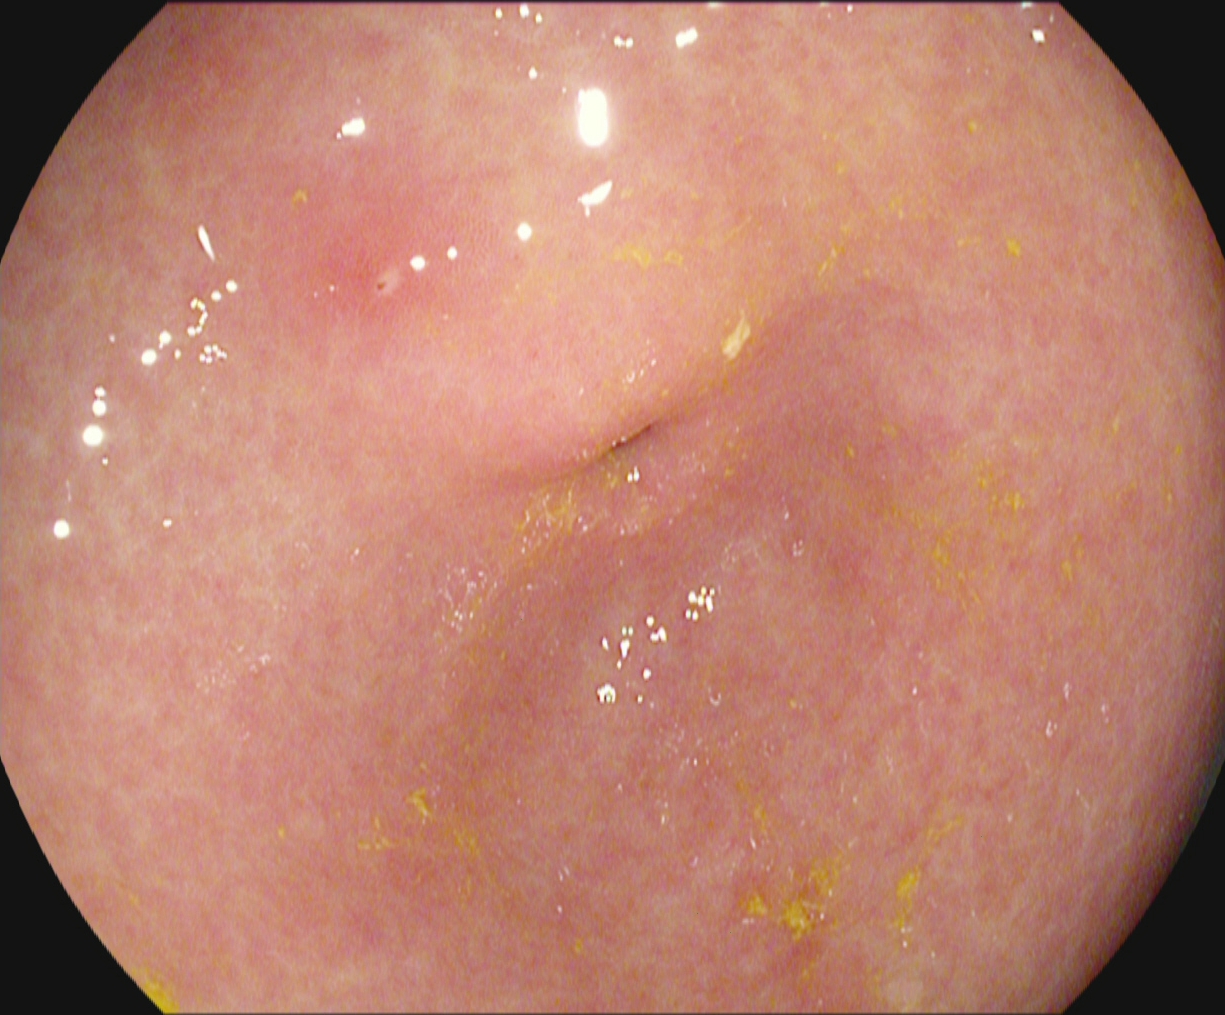modality: upper-GI endoscopy; tract: upper GI tract; finding: pylorus